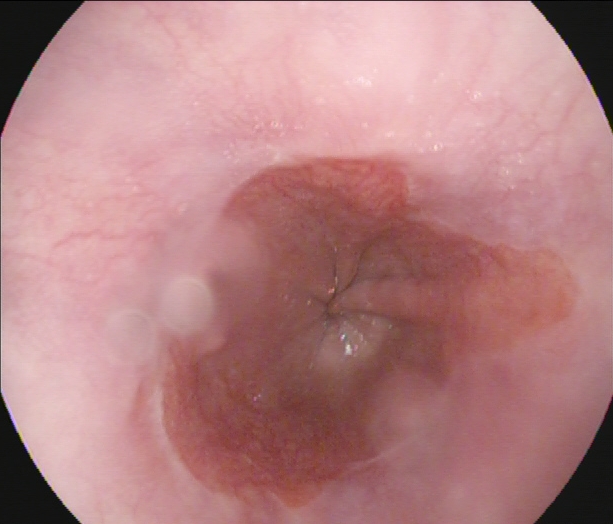modality: gastroscopy; tract: upper GI tract; finding: Barrett's esophagus, short segment